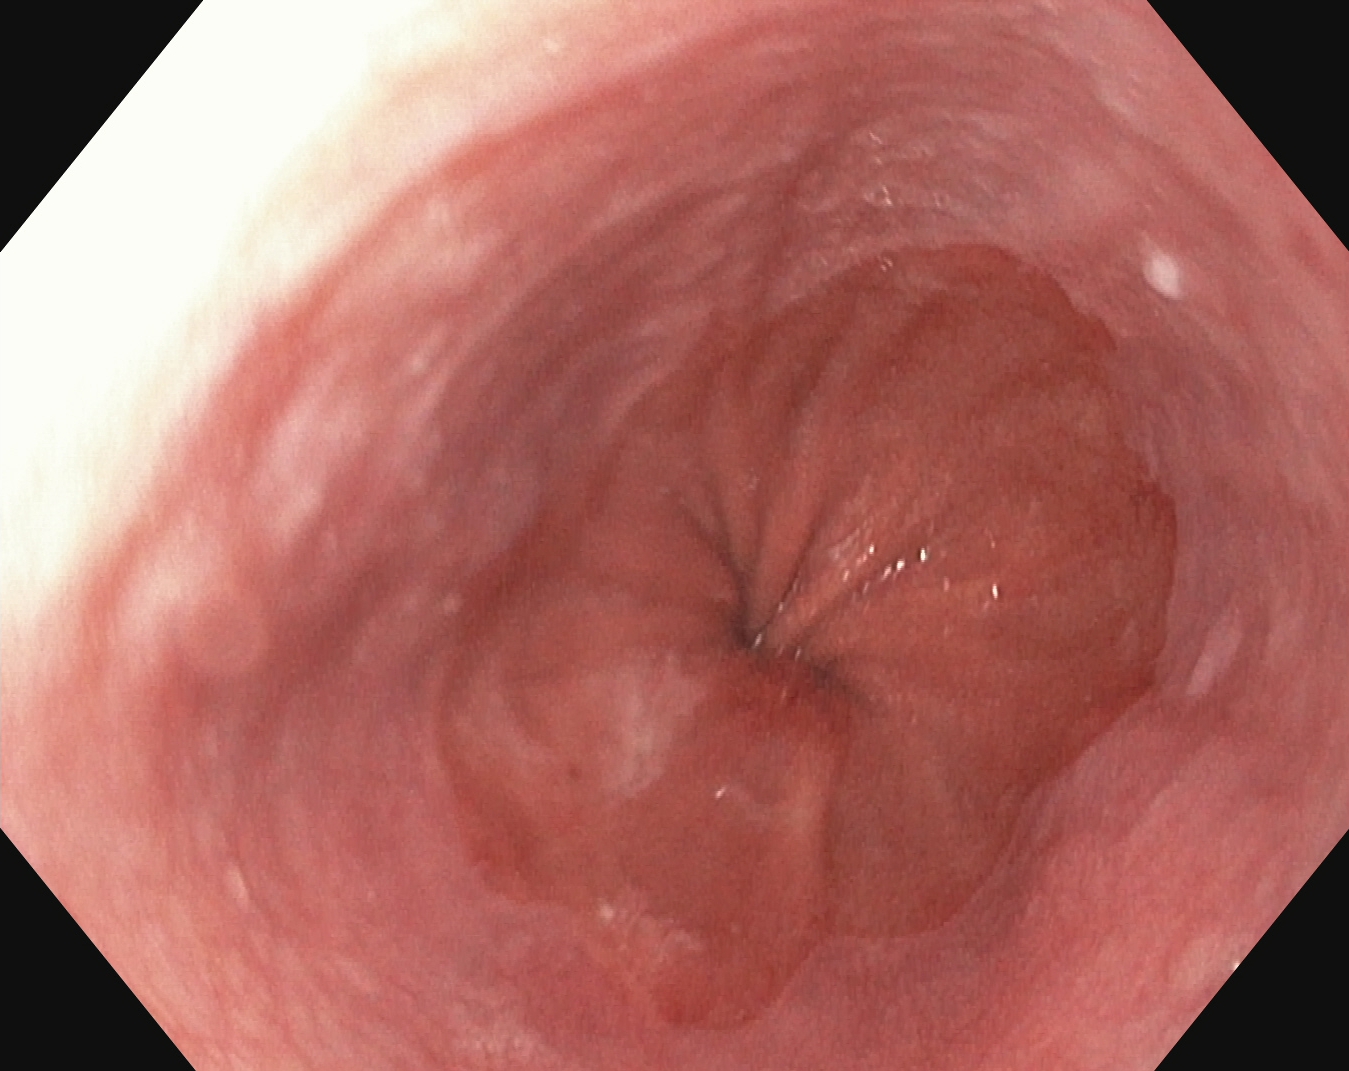Upper-GI endoscopy. Tract: upper GI tract. Finding: Z-line (gastroesophageal junction).